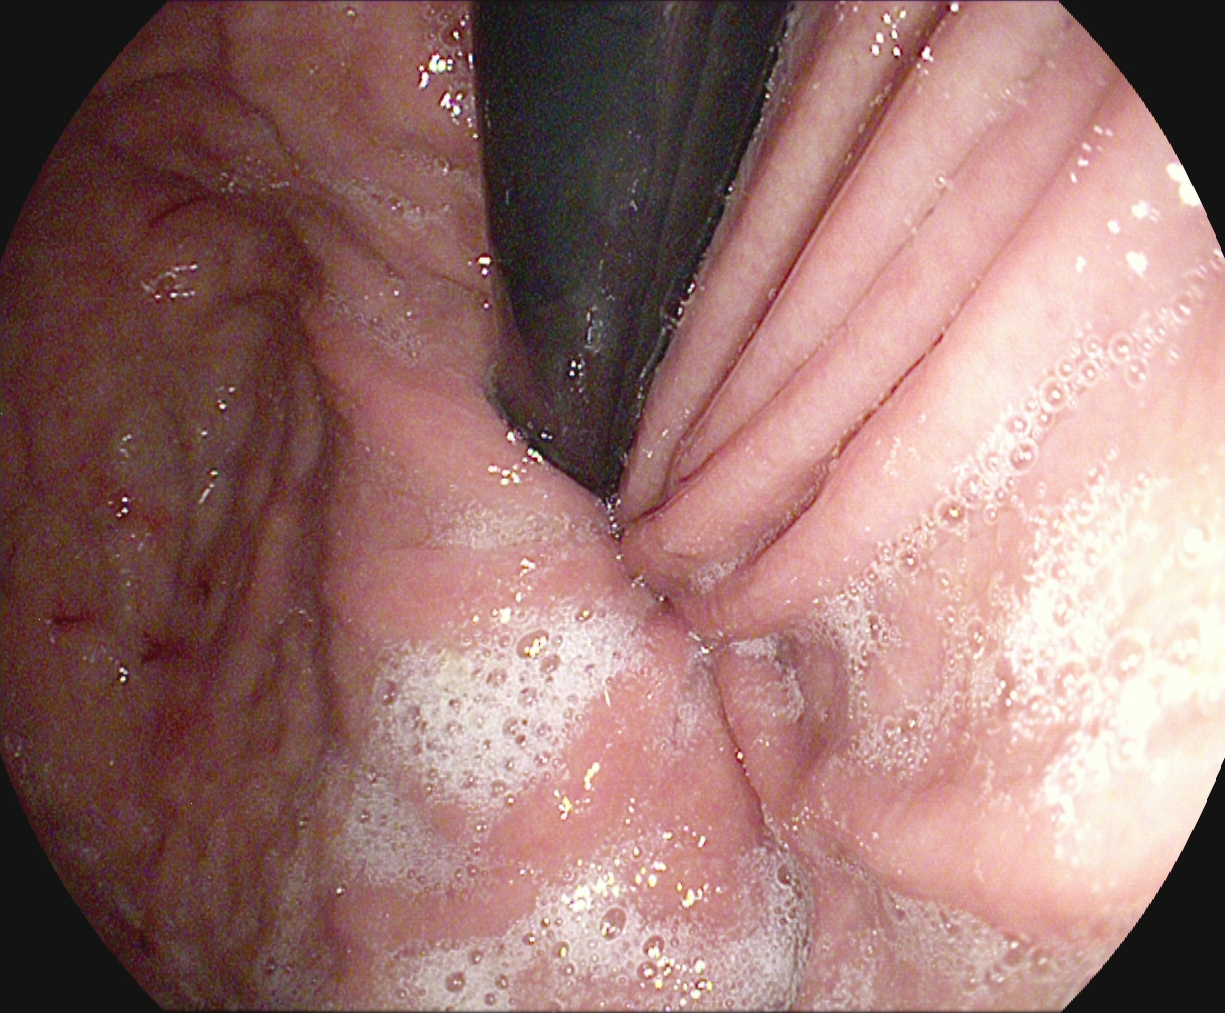EGD. Tract: upper GI tract. Anatomical landmark. Finding: stomach in retroflexion.